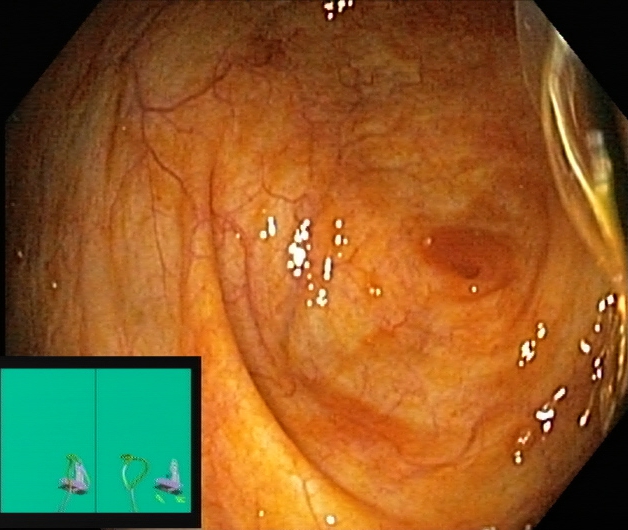Endoscopic image showing cecum.